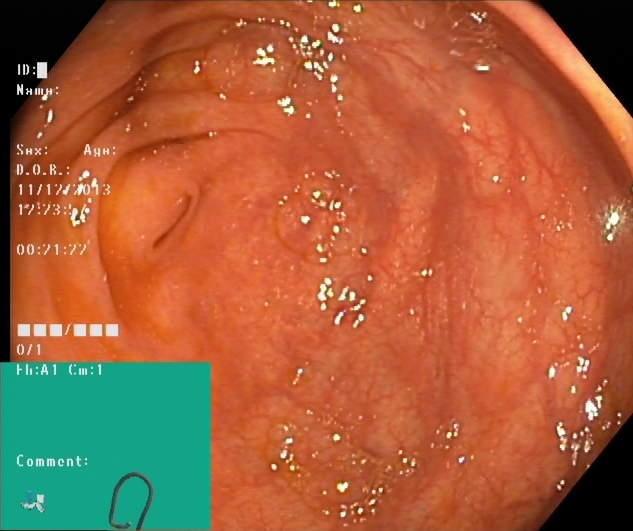{"modality": "lower gastrointestinal endoscopy", "tract": "lower GI tract", "finding": "cecum"}